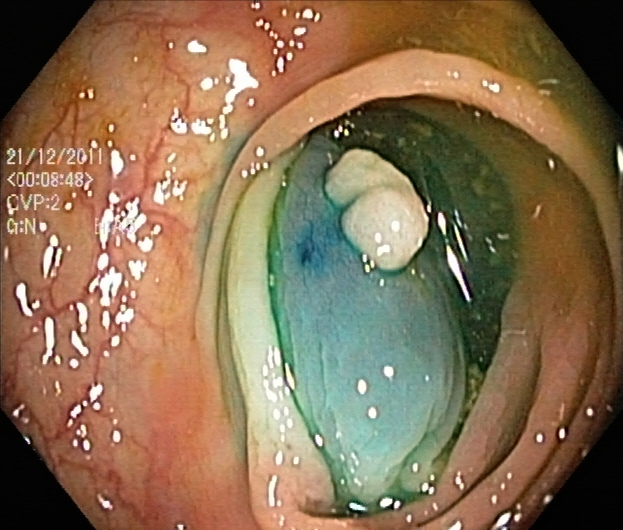PROCEDURE: Colonoscopy.
FINDINGS: Dyed and lifted polyp (pre-resection).